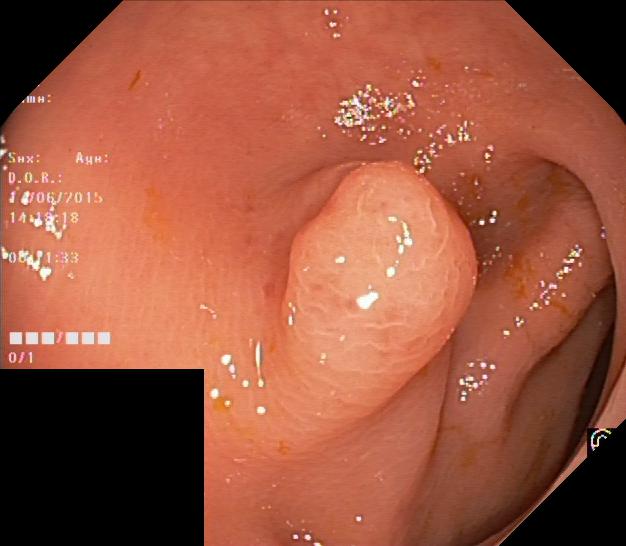Colonoscopy — colorectal polyp(s).